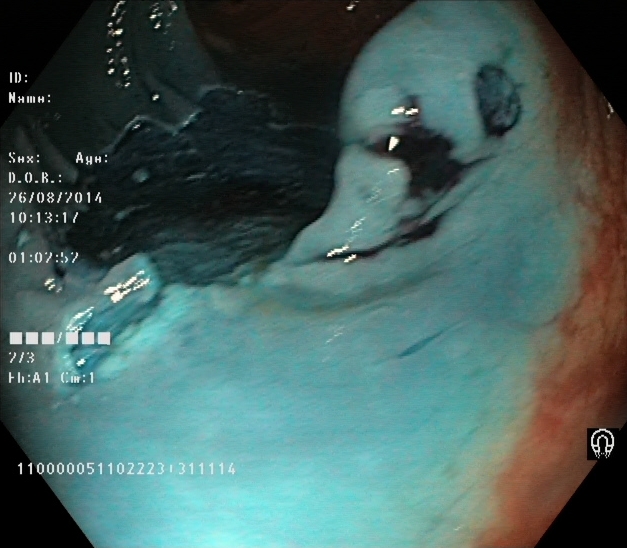modality: colonoscopy
category: therapeutic intervention
finding: dyed resection margins (post-polypectomy)